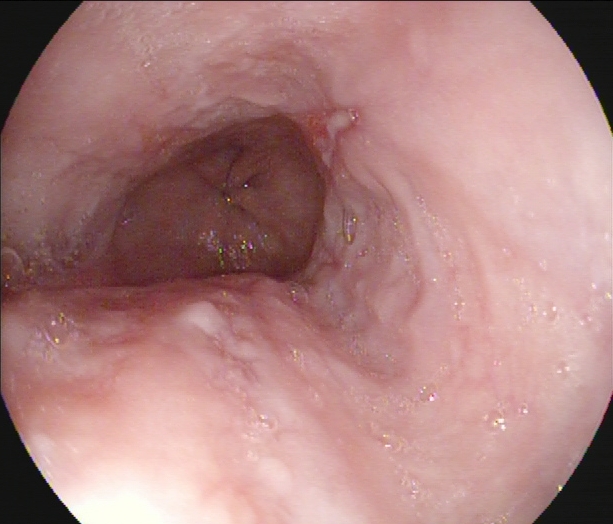PROCEDURE: Gastroscopy.
FINDINGS: Reflux esophagitis, Los Angeles grade A.